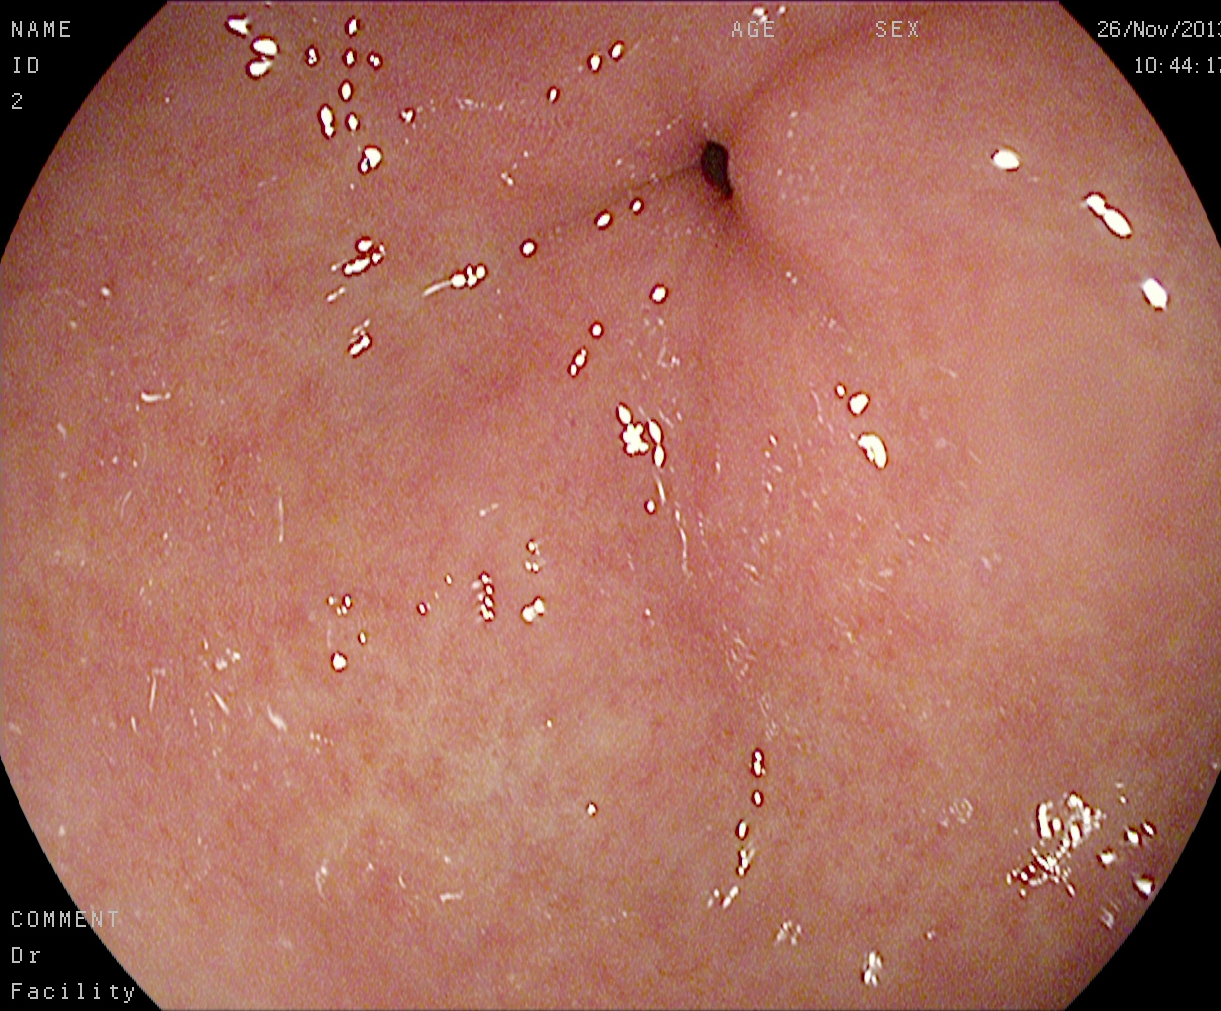pylorus.